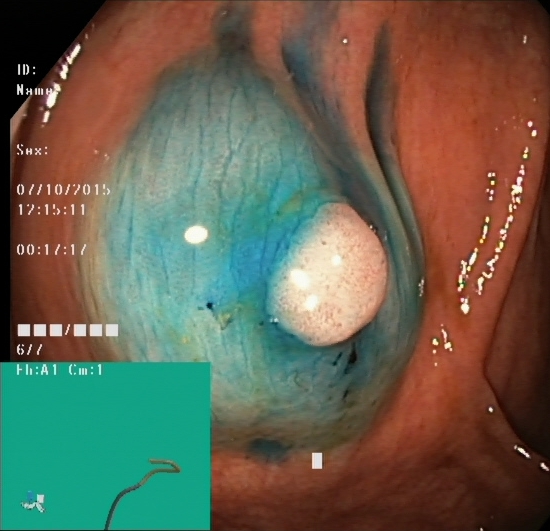Lower-GI endoscopy. Tract: lower GI tract. Therapeutic intervention. Finding: dyed and lifted polyp (pre-resection).